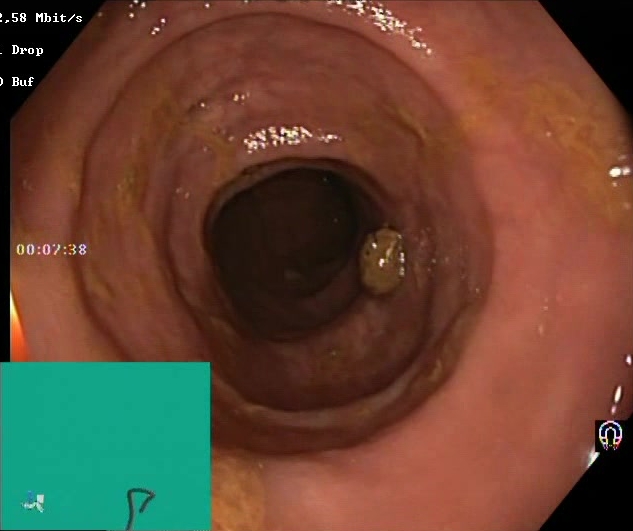Lower-GI endoscopy. Tract: lower GI tract. Finding: Boston Bowel Preparation Scale score 2–3 (adequate preparation).